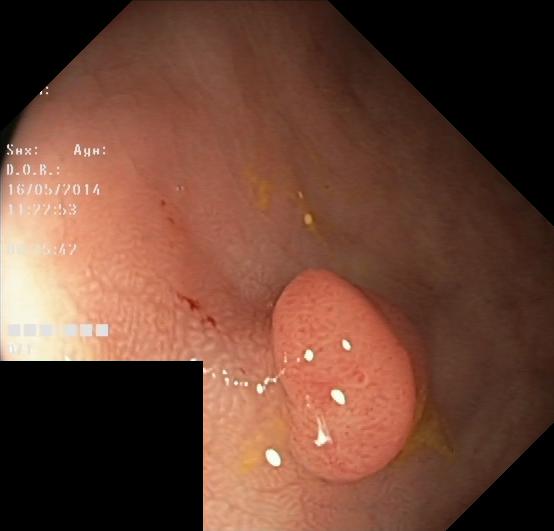Colorectal polyp(s).